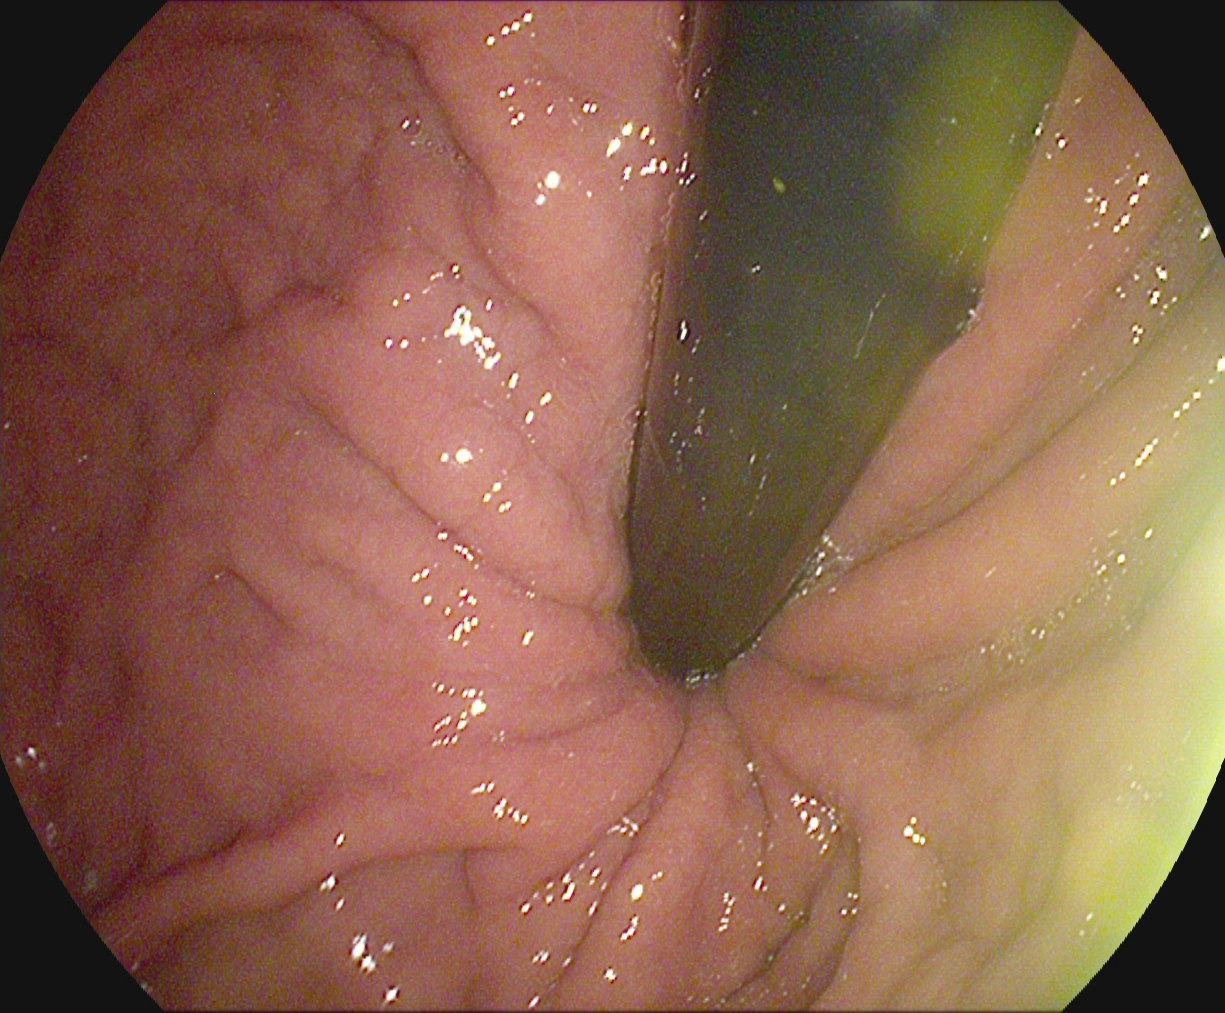This endoscopy frame of the upper GI tract shows stomach in retroflexion.